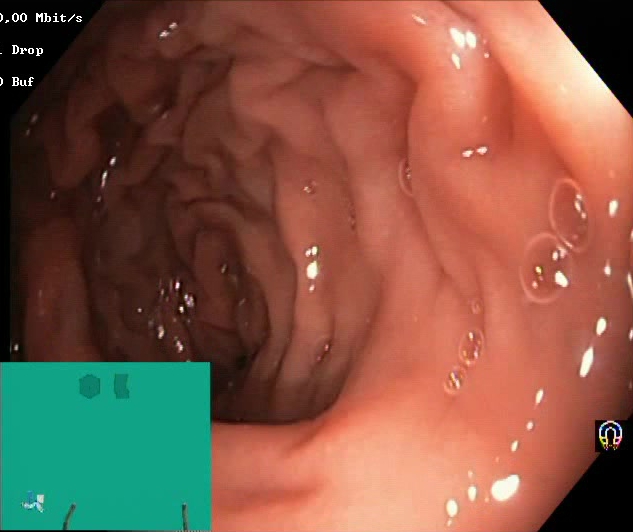BBPS score 2–3 (adequate preparation).